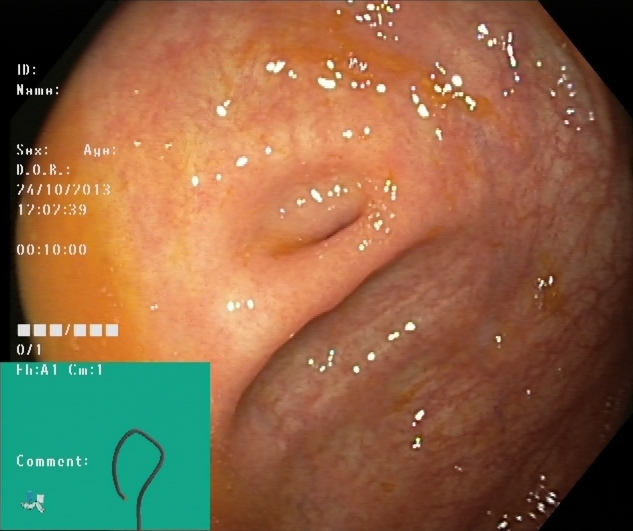PROCEDURE: Lower gastrointestinal endoscopy.
CATEGORY: Anatomical landmark.
FINDINGS: Cecum.